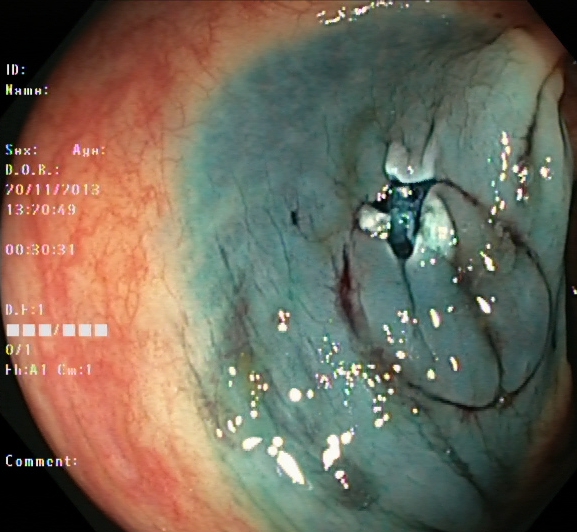Dyed resection margins (post-polypectomy).